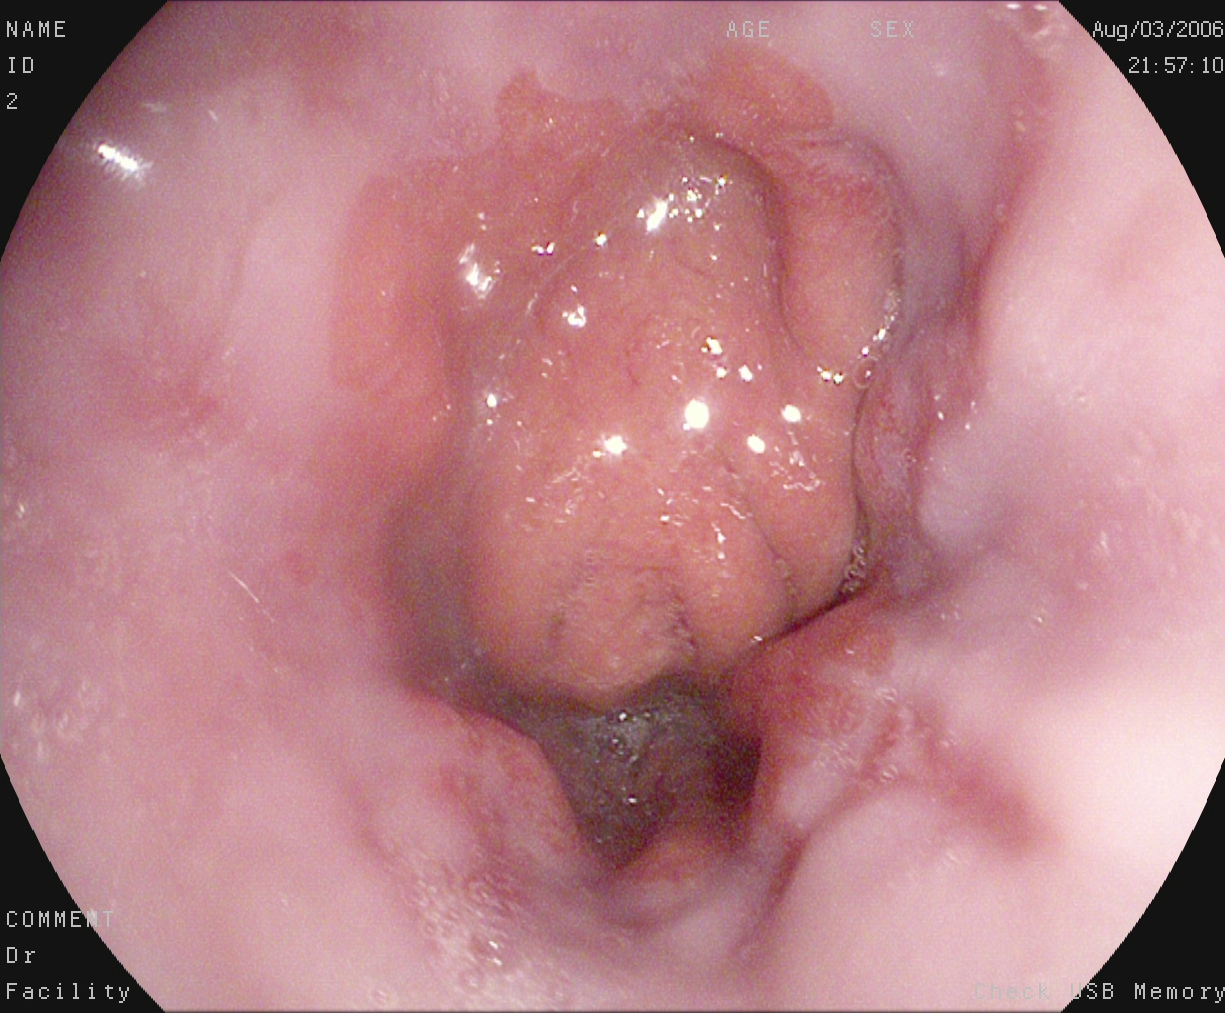{"modality": "gastroscopy", "category": "pathological finding", "finding": "reflux esophagitis, LA grade A"}